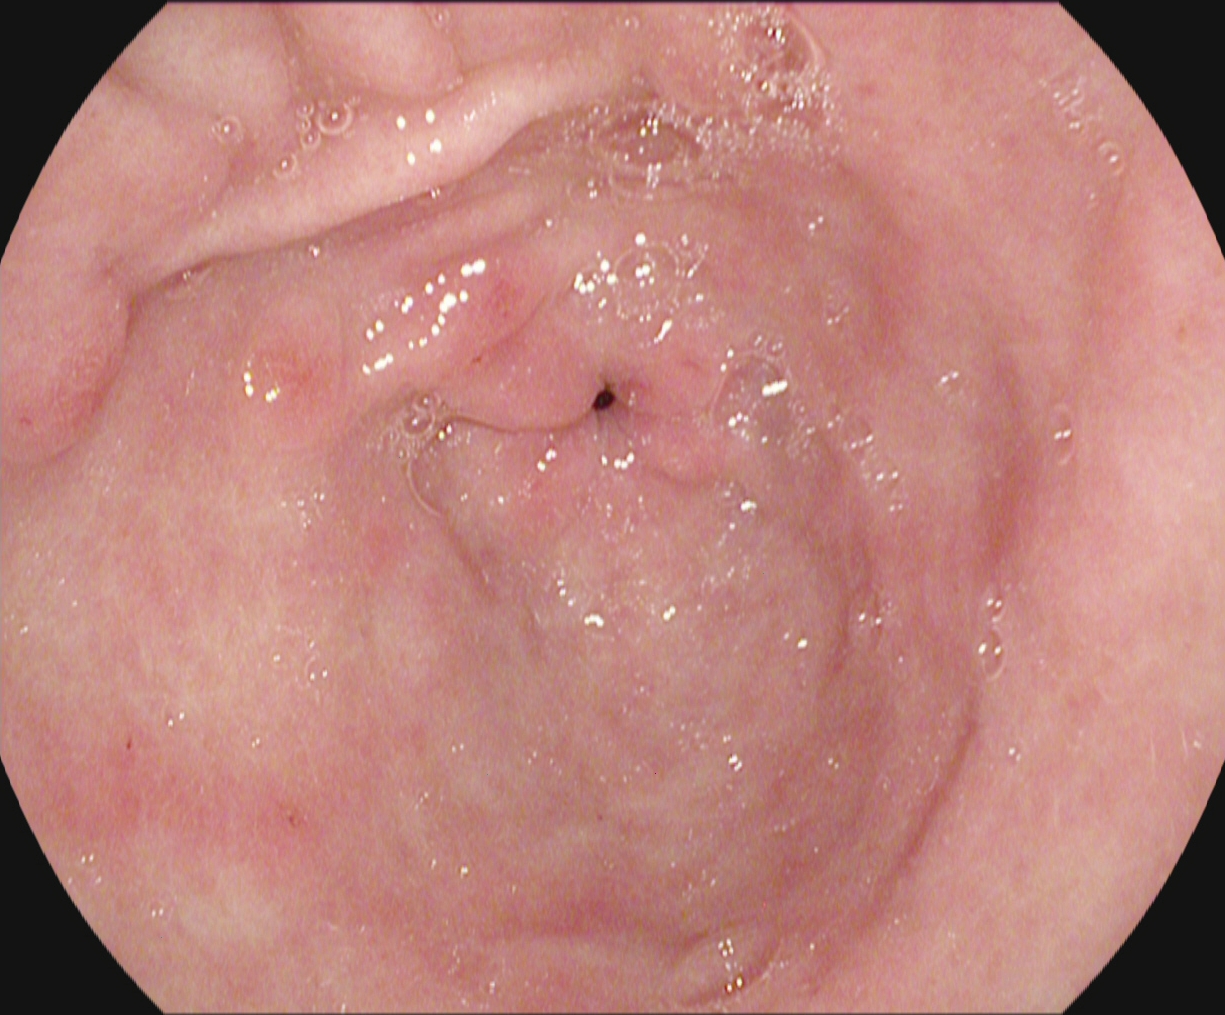modality: esophagogastroduodenoscopy
tract: upper GI tract
finding: pylorus